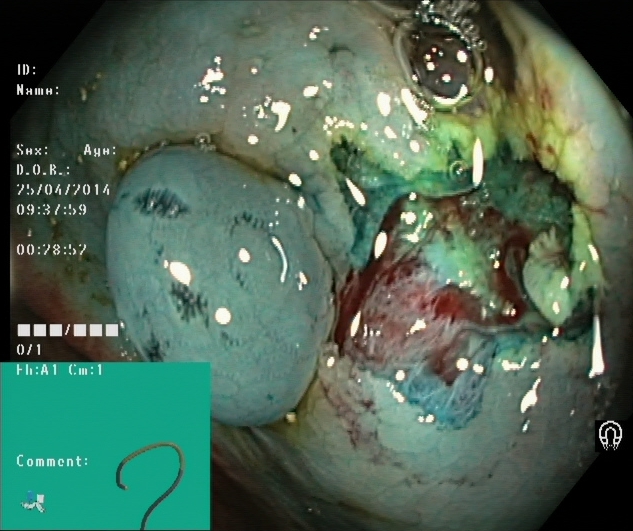PROCEDURE: Lower gastrointestinal endoscopy.
CATEGORY: Therapeutic intervention.
FINDINGS: Dyed resection margins (post-polypectomy).